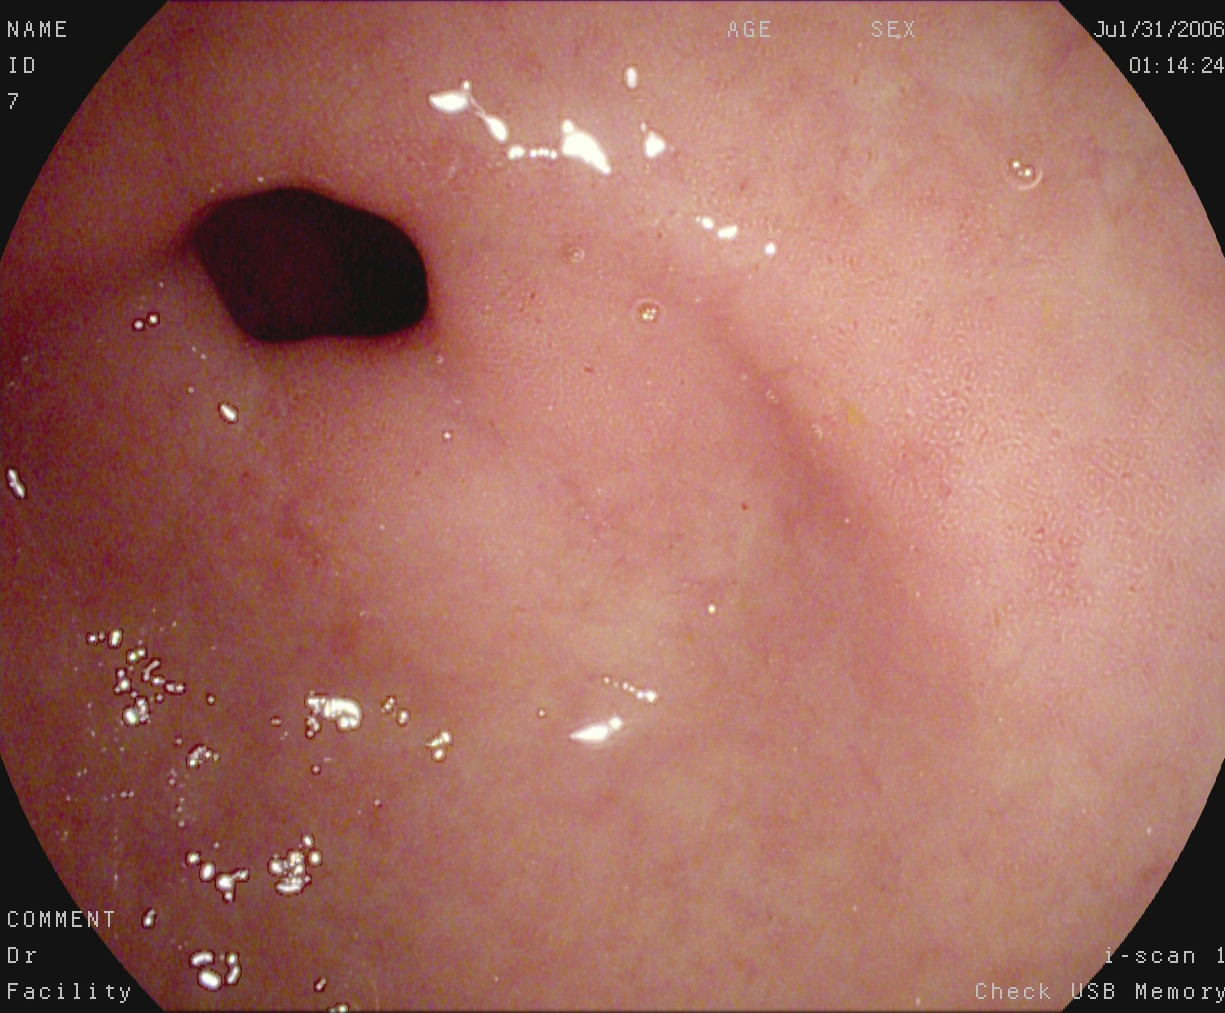modality: upper-GI endoscopy
tract: upper GI tract
finding: pylorus